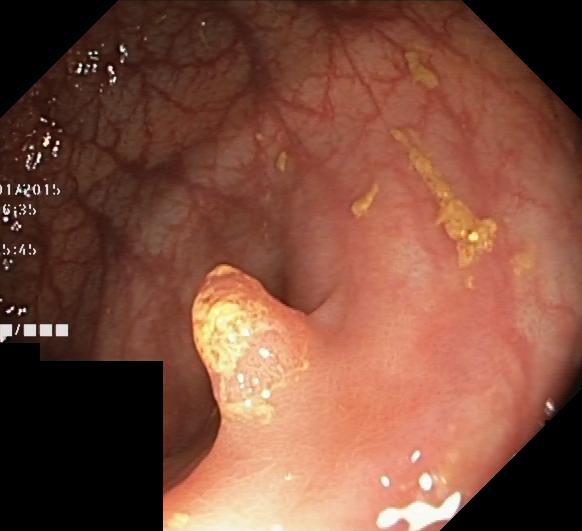Lower-GI endoscopy. Pathological finding. Finding: colorectal polyp(s).